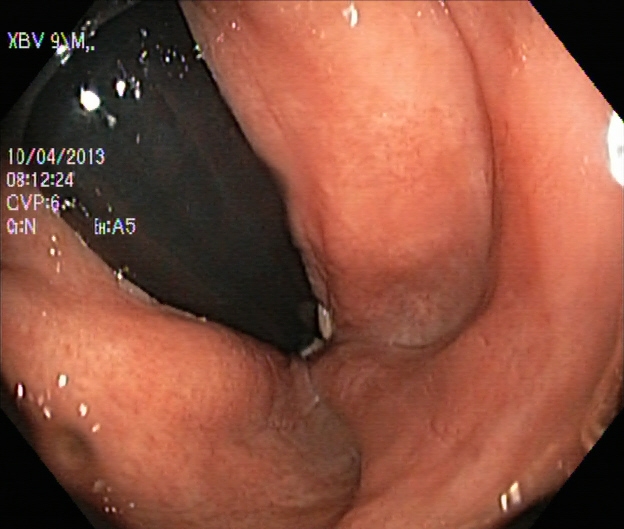Endoscopic frame of the lower GI tract showing rectum in retroflexion.